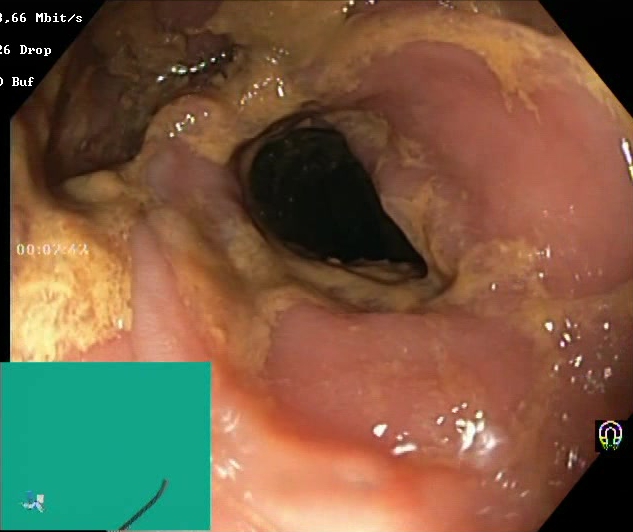PROCEDURE: Lower gastrointestinal endoscopy.
CATEGORY: Mucosal-view quality.
FINDINGS: Boston Bowel Preparation Scale score 0–1 (inadequate preparation).